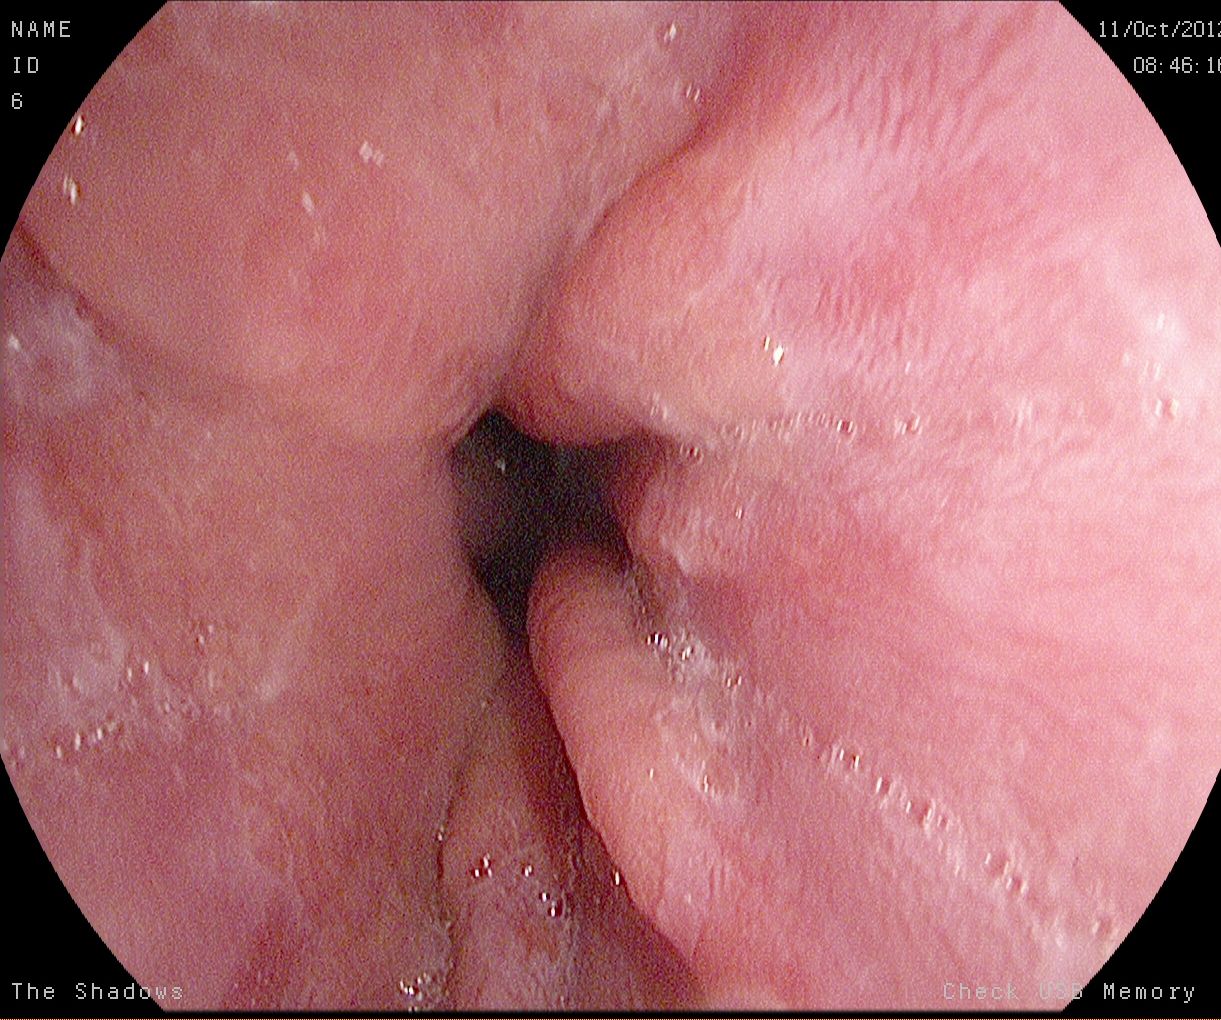This endoscopy frame shows Z-line (gastroesophageal junction).